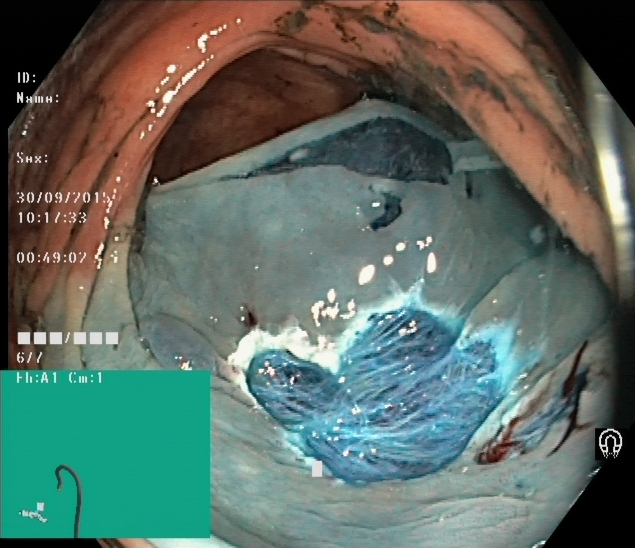modality: lower-GI endoscopy; finding: dyed resection margins (post-polypectomy)